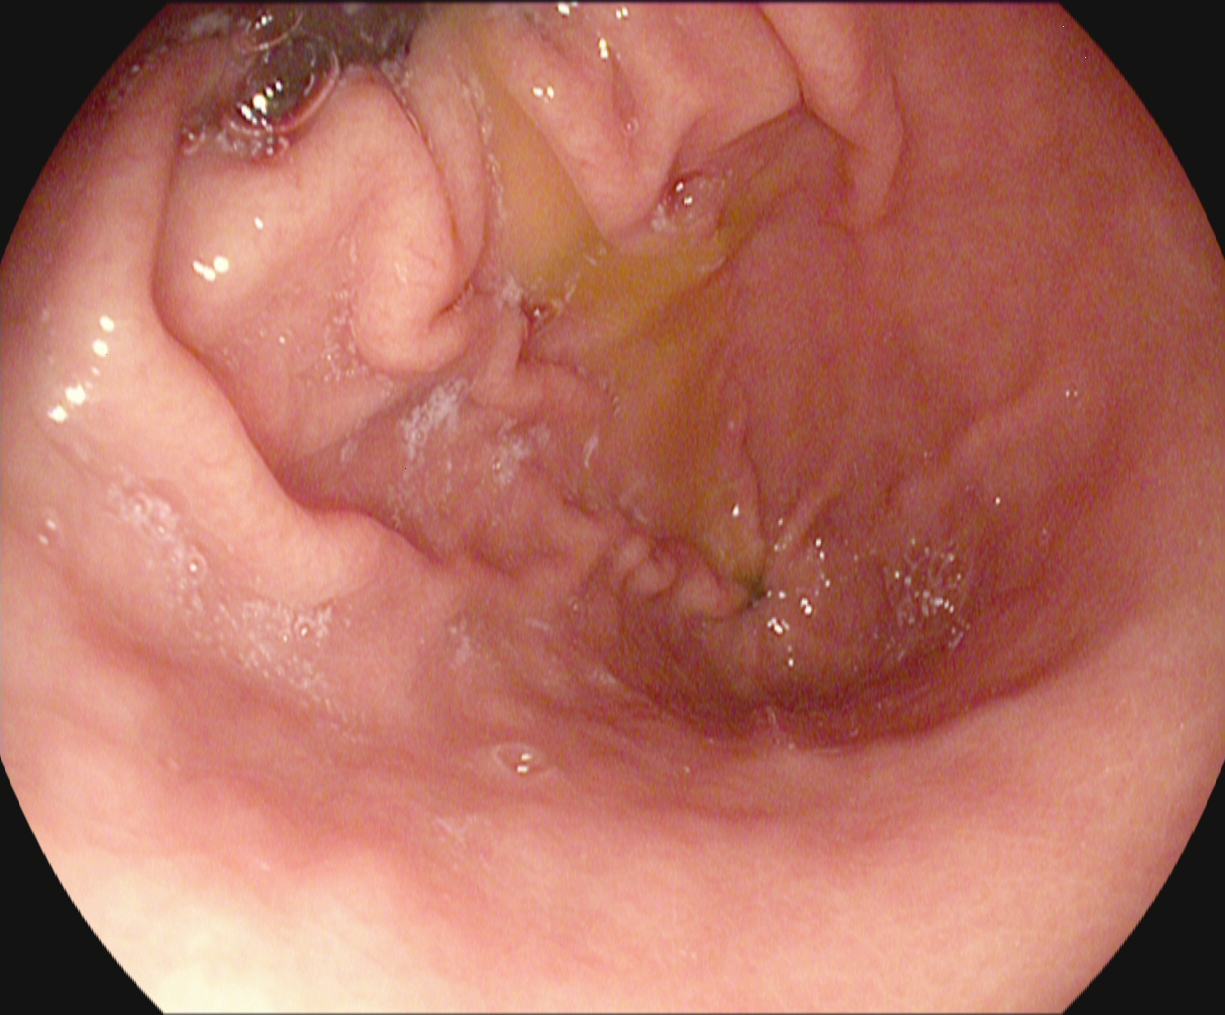Esophagogastroduodenoscopy — pylorus.